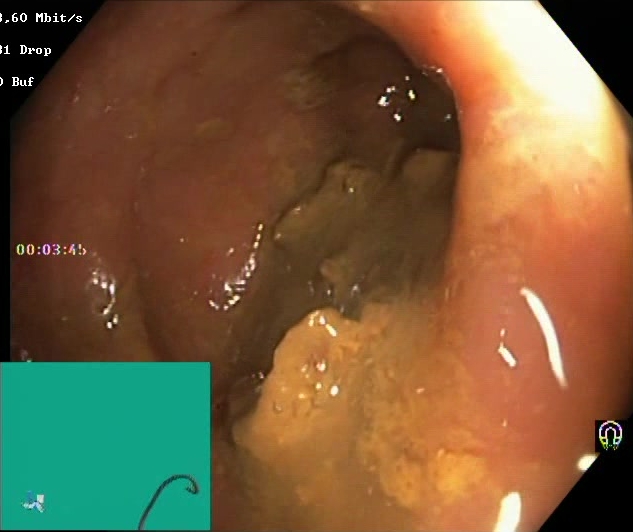Lower gastrointestinal endoscopy. Finding: Boston Bowel Preparation Scale score 0–1 (inadequate preparation).